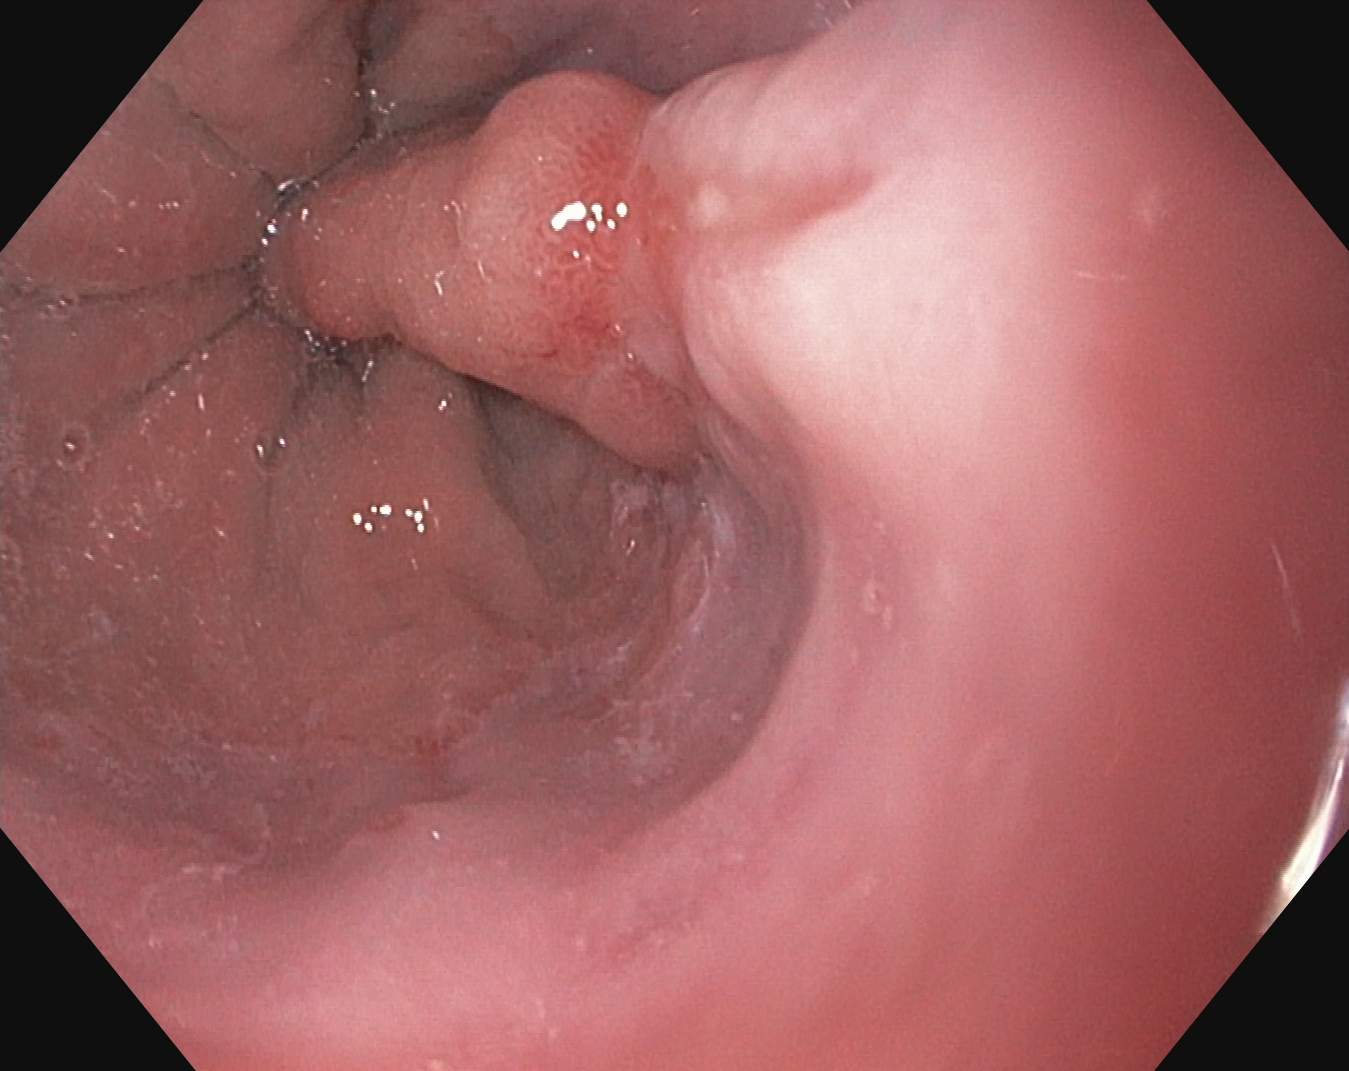Esophagogastroduodenoscopy. Tract: upper GI tract. Pathological finding. Finding: reflux esophagitis, Los Angeles grade A.